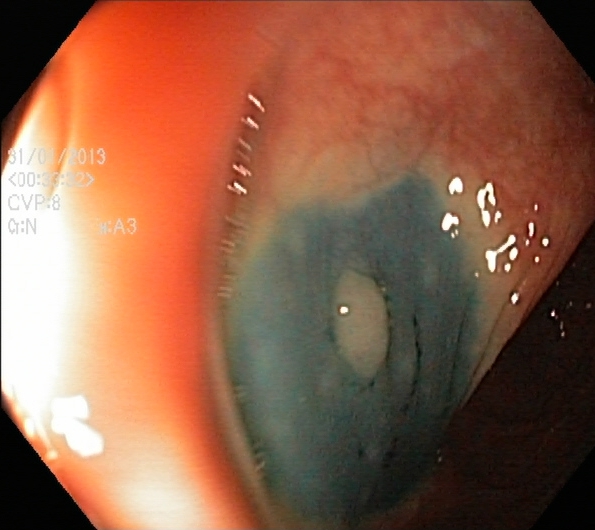modality: lower-GI endoscopy
tract: lower GI tract
finding: dyed and lifted polyp (pre-resection)